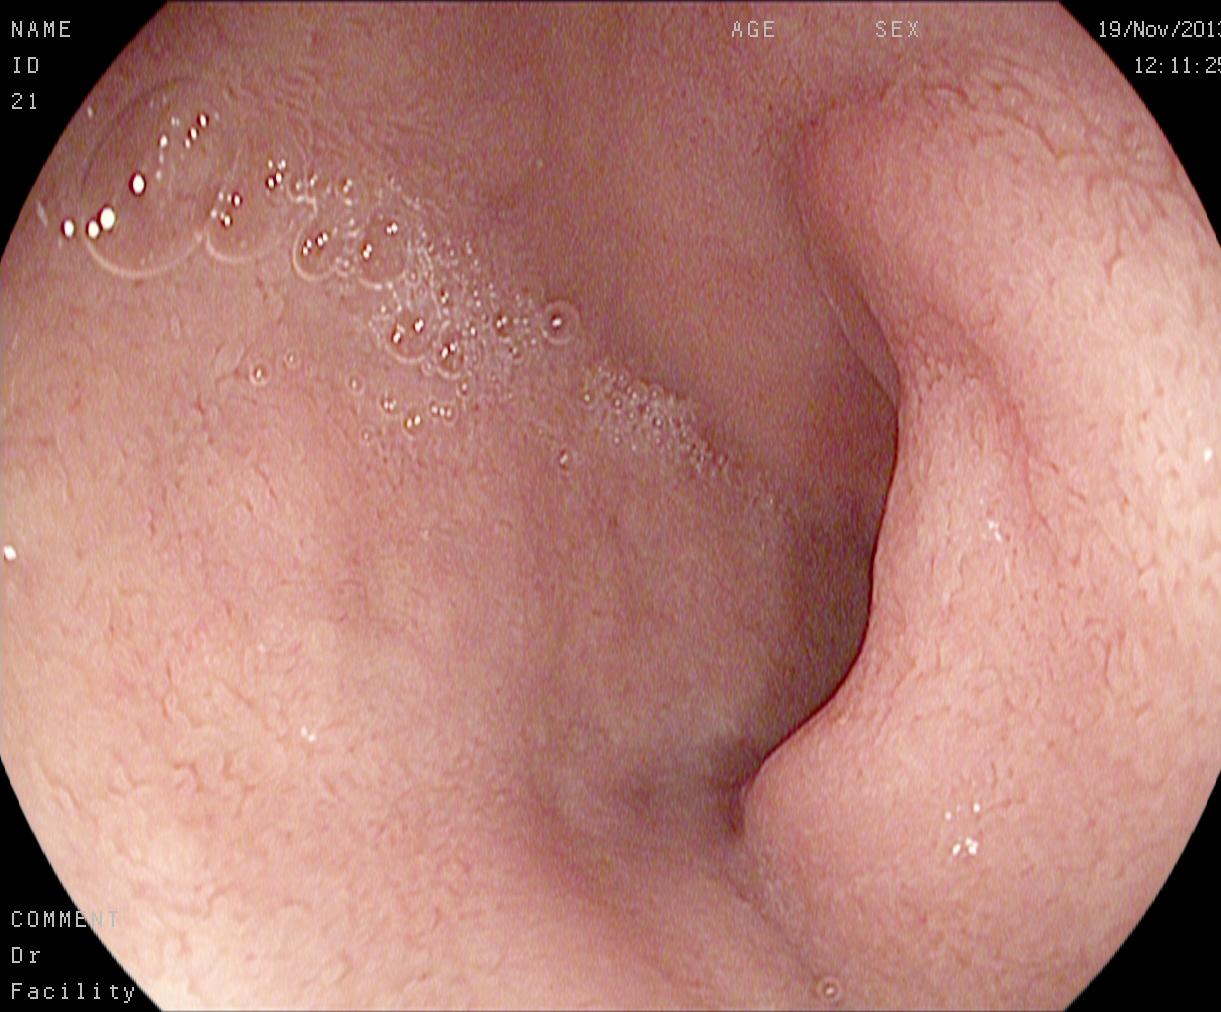pylorus.